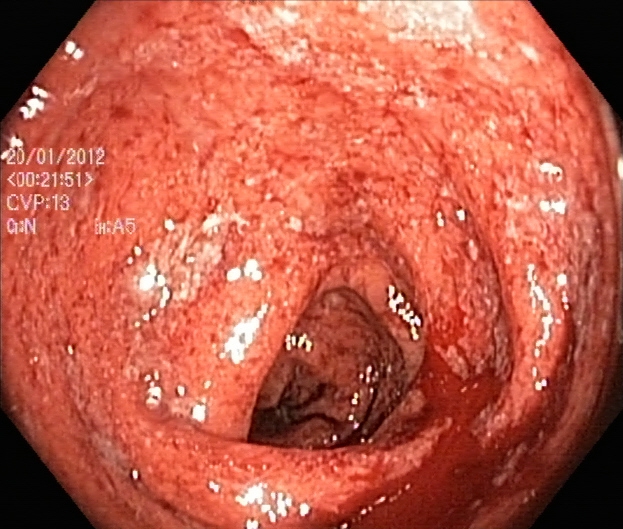modality: lower gastrointestinal endoscopy | finding: ulcerative colitis, Mayo endoscopic subscore 3